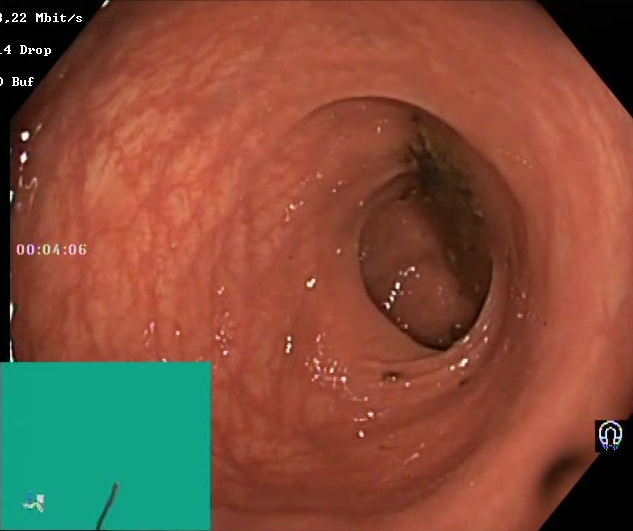{"modality": "colonoscopy", "tract": "lower GI tract", "category": "mucosal-view quality", "finding": "BBPS score 0\u20131 (inadequate preparation)"}